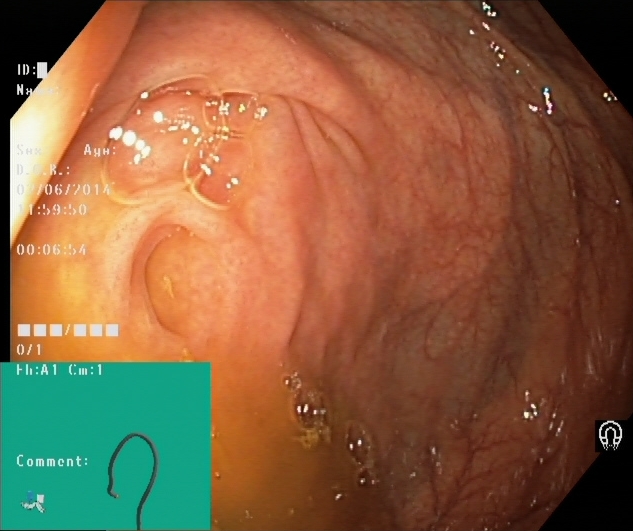This endoscopy frame of the lower GI tract shows cecum.